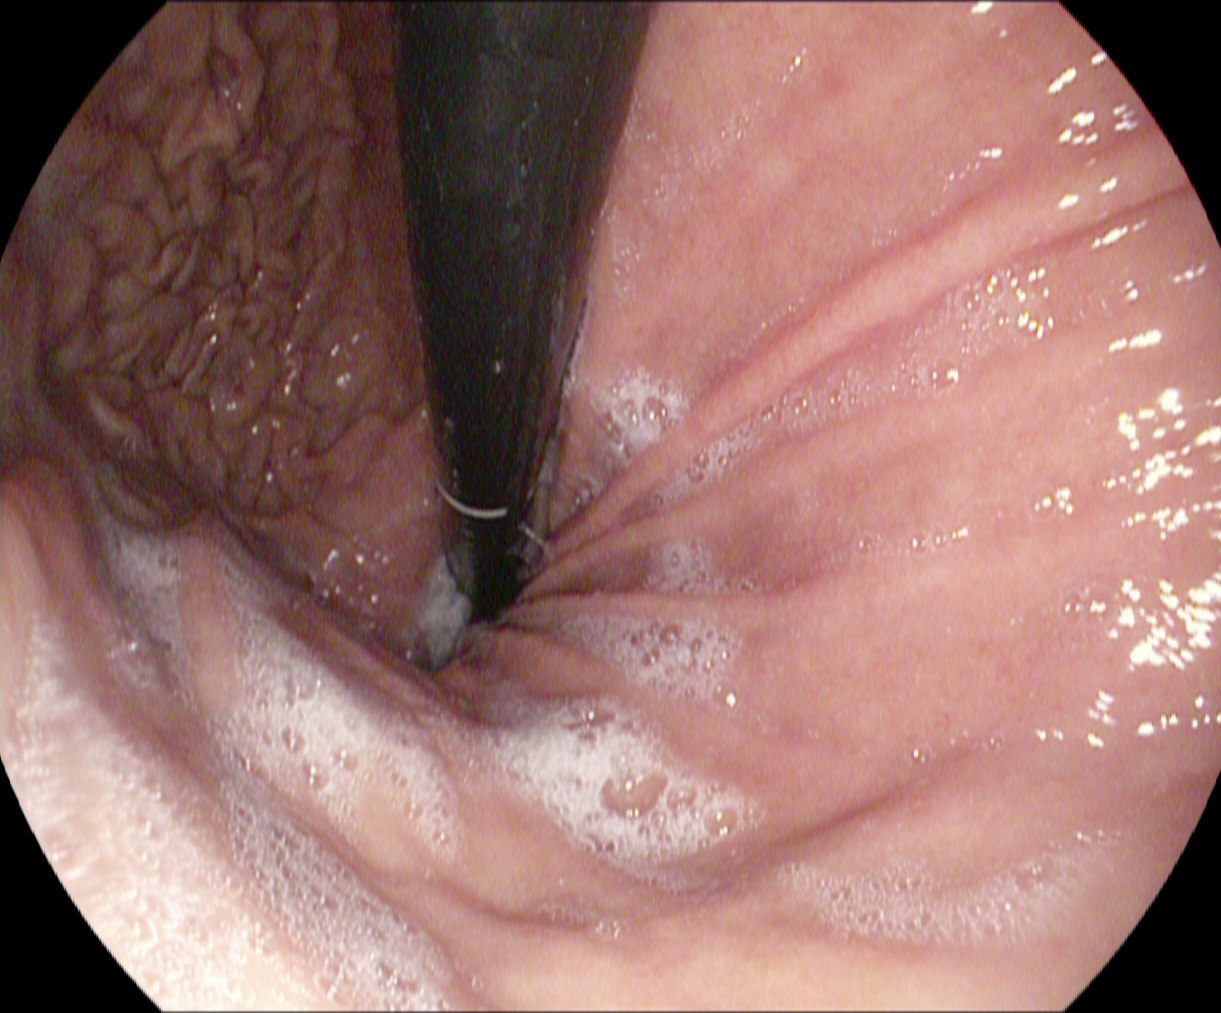Upper-GI endoscopy image of the upper GI tract showing stomach in retroflexion.